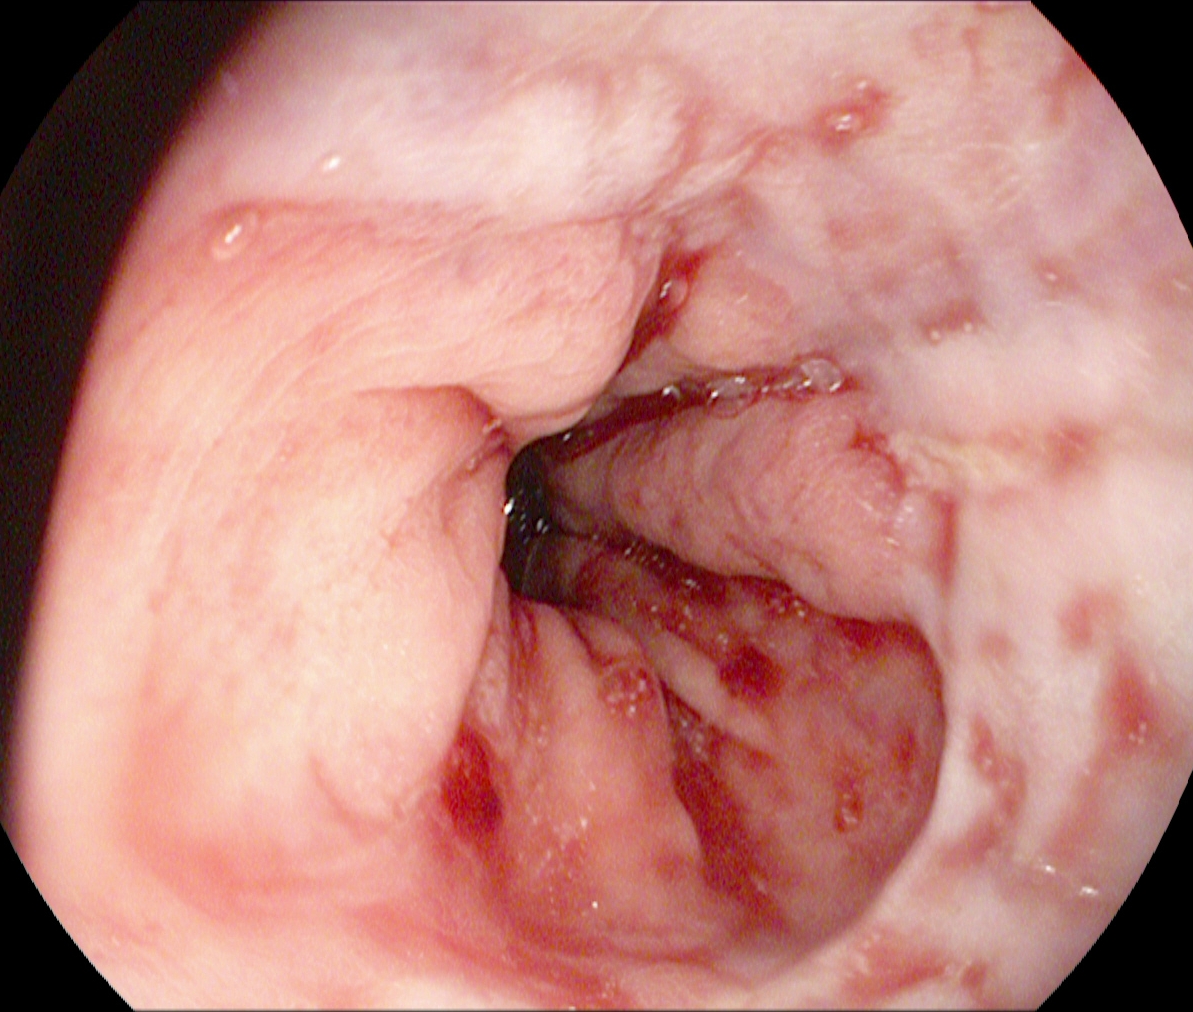Reflux esophagitis, Los Angeles grade B–D.